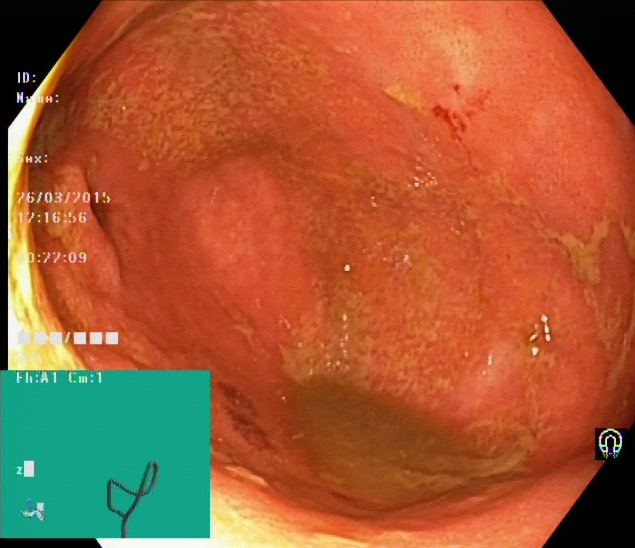{"modality": "colonoscopy", "category": "pathological finding", "finding": "UC, Mayo endoscopic subscore 1"}